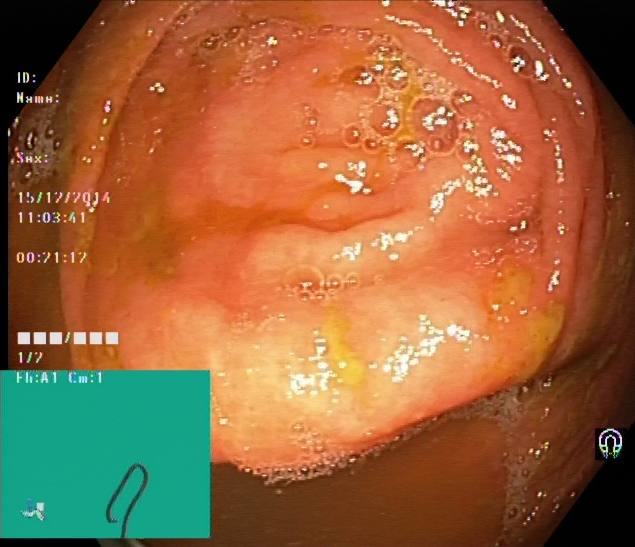Colonoscopy. Anatomical landmark. Finding: cecum.